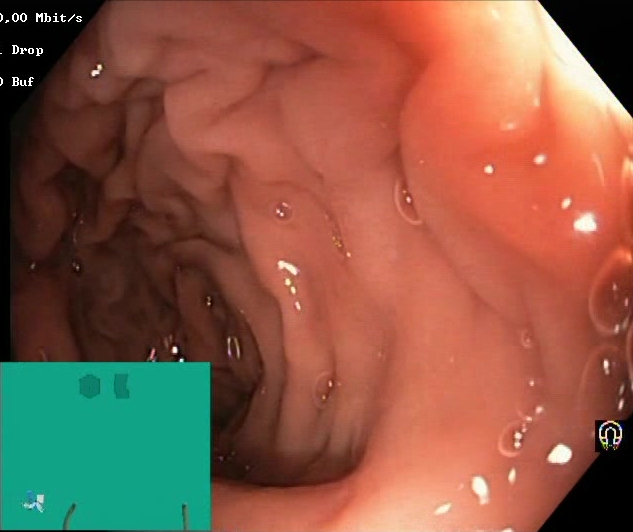This endoscopy frame shows BBPS score 2–3 (adequate preparation).